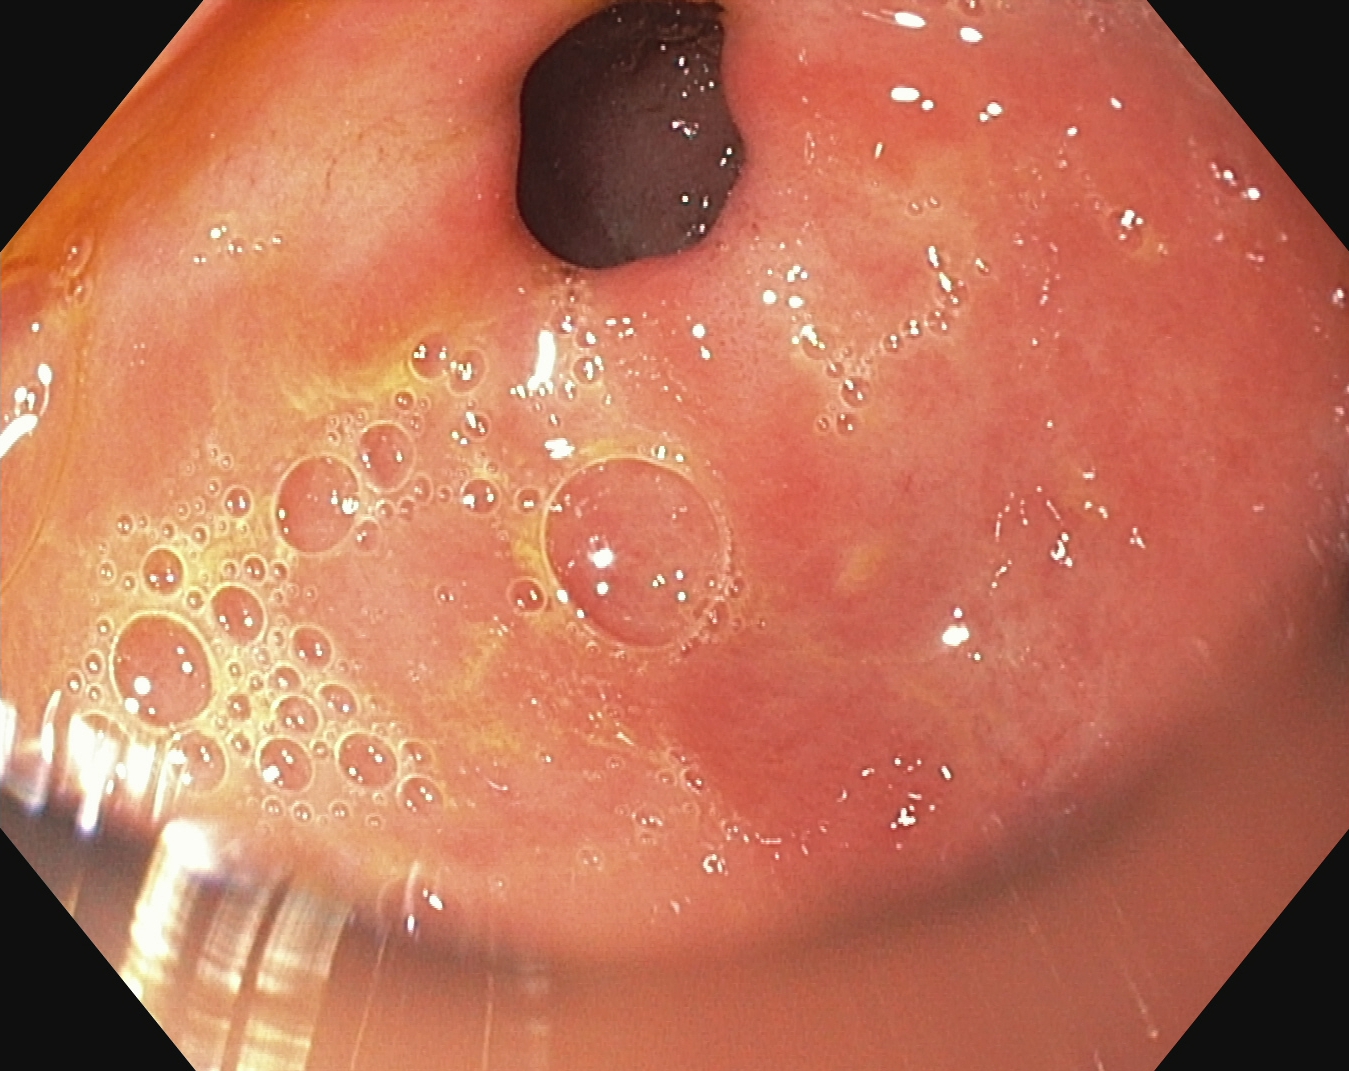Endoscopy image of the upper GI tract showing pylorus.